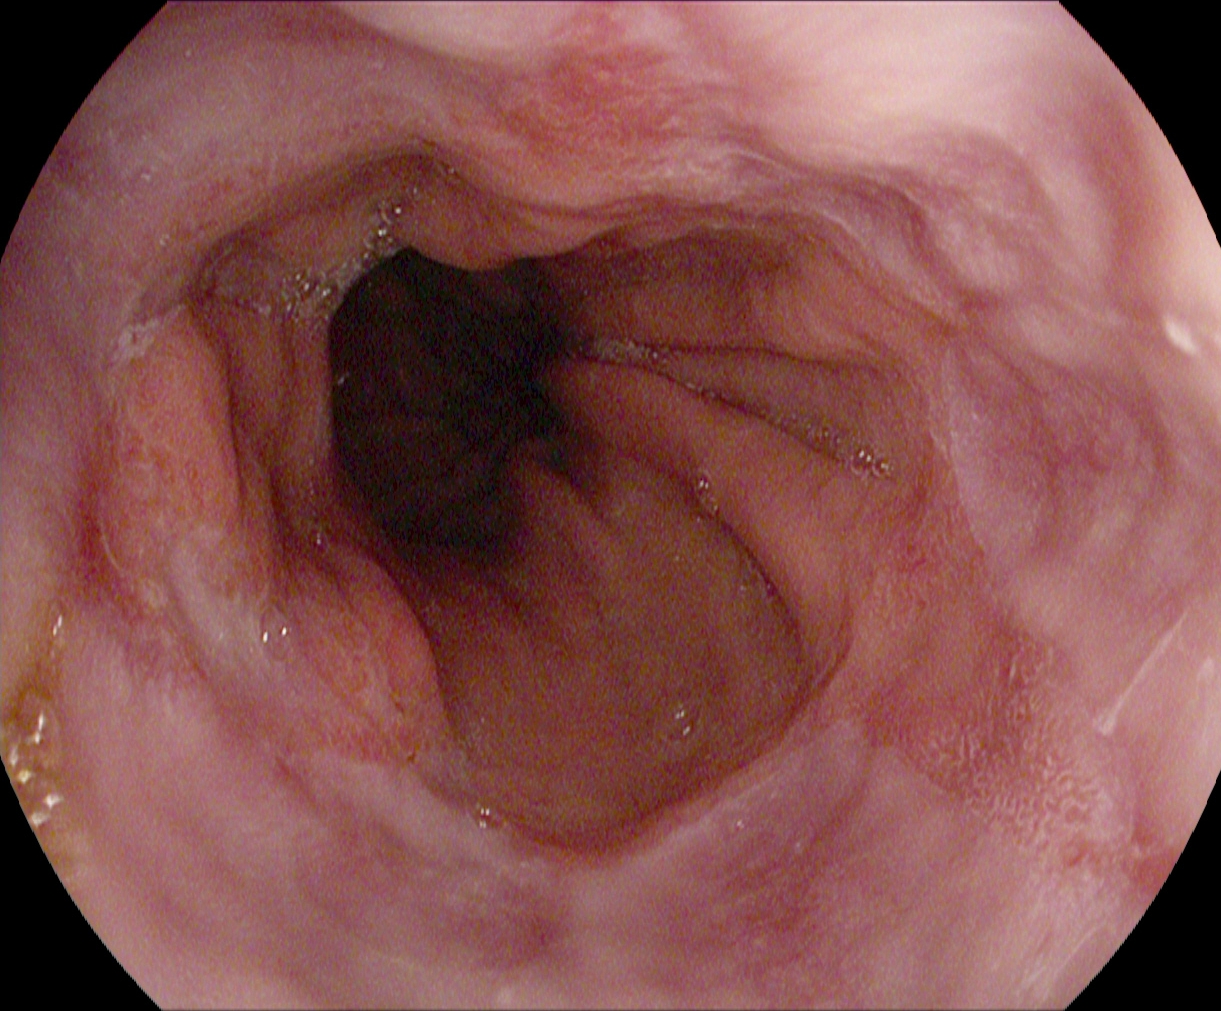modality: upper-GI endoscopy
tract: upper GI tract
category: pathological finding
finding: reflux esophagitis, Los Angeles grade B–D